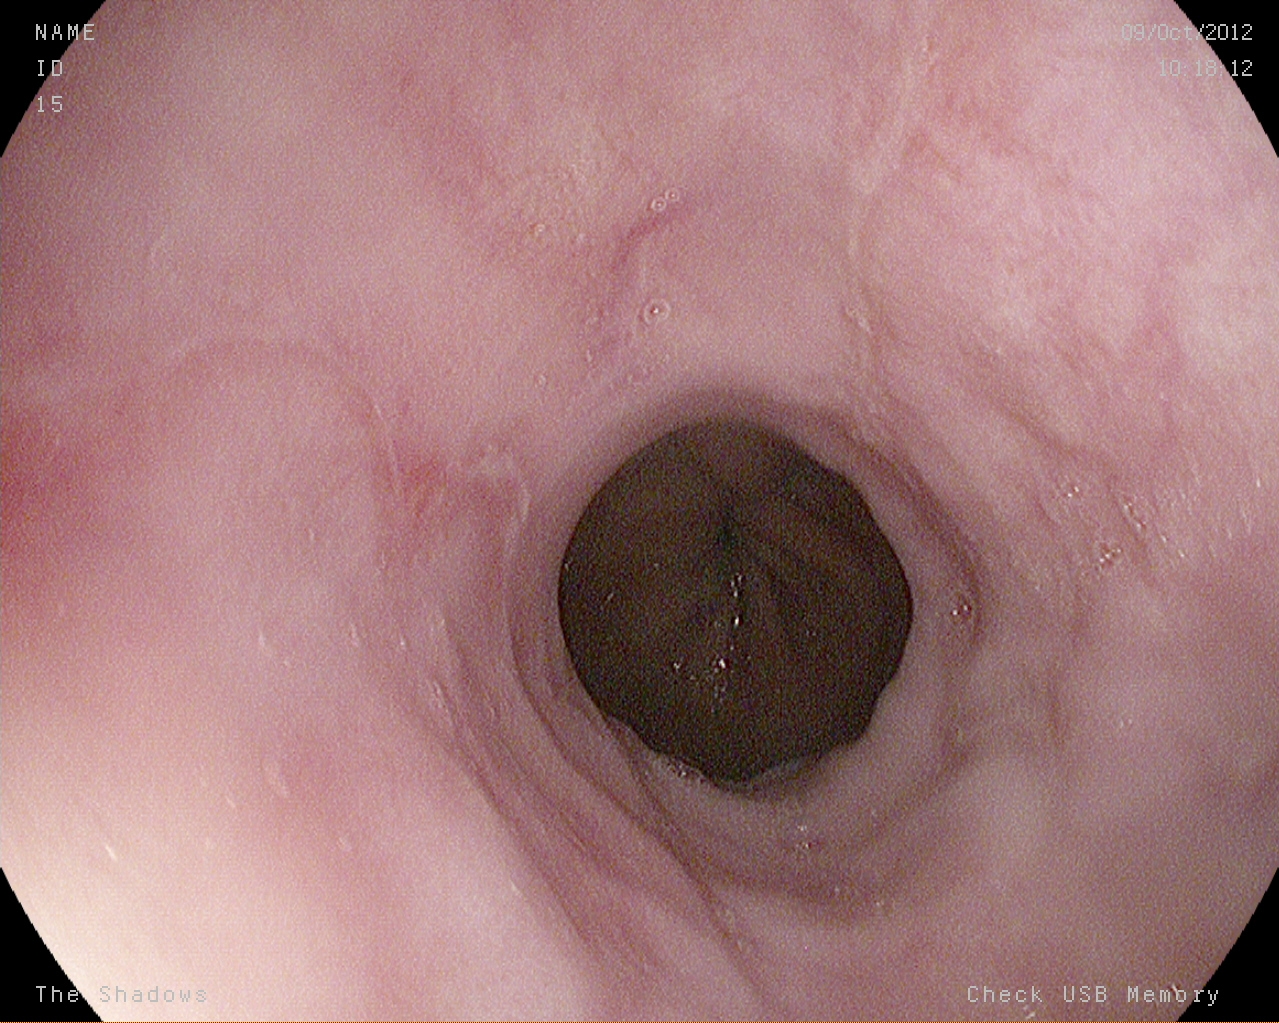Upper-GI endoscopy. Tract: upper GI tract. Pathological finding. Finding: reflux esophagitis, Los Angeles grade A.